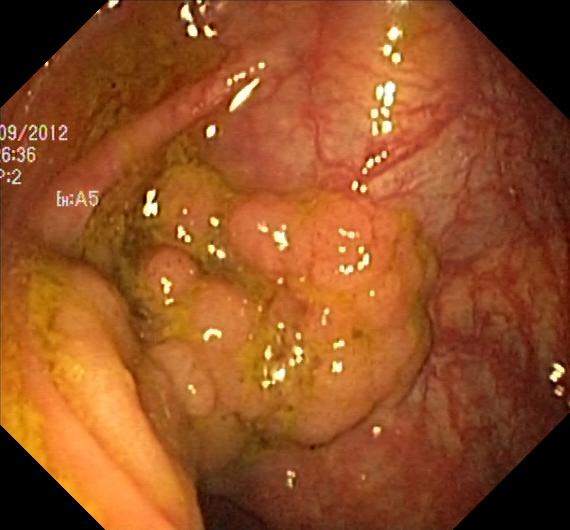Colorectal polyp(s).